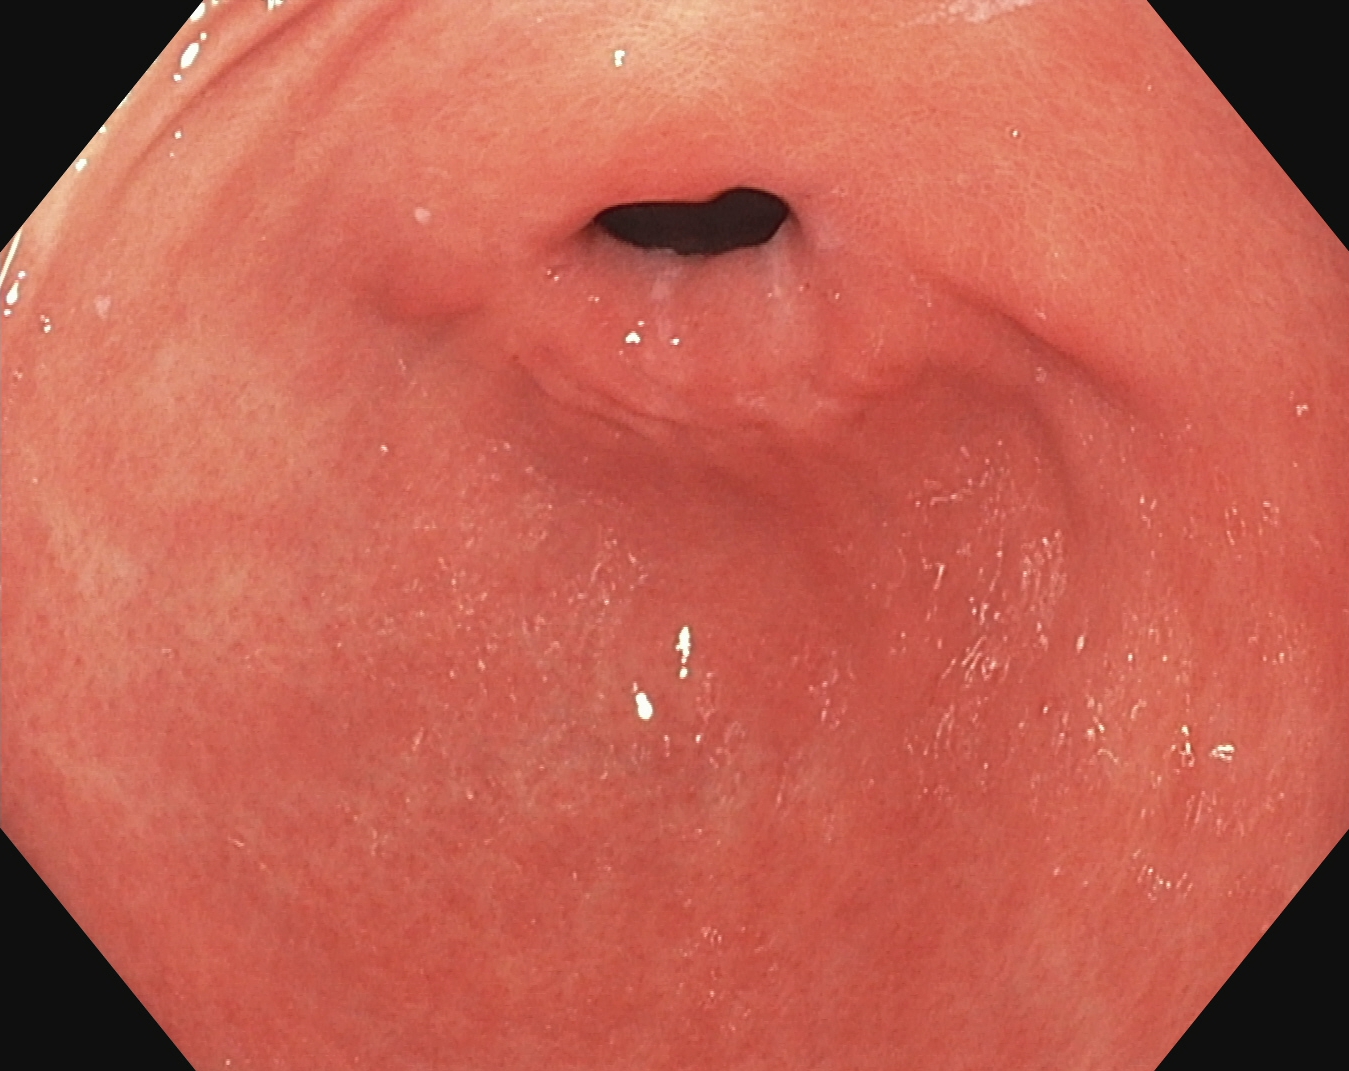Gastroscopy. Tract: upper GI tract. Finding: pylorus.